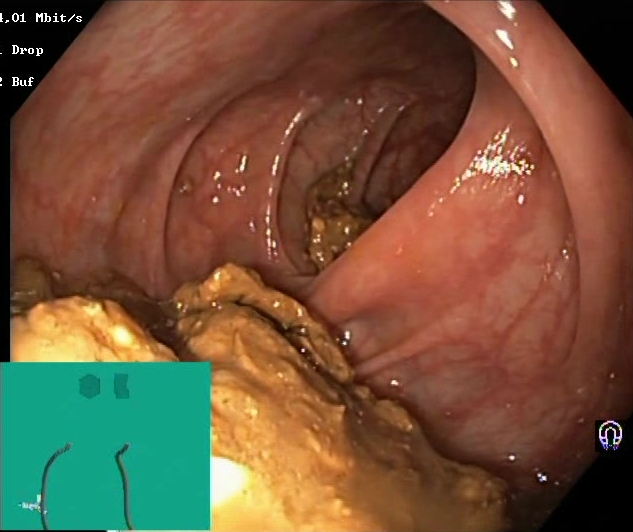Lower-GI endoscopy — Boston Bowel Preparation Scale score 0–1 (inadequate preparation).